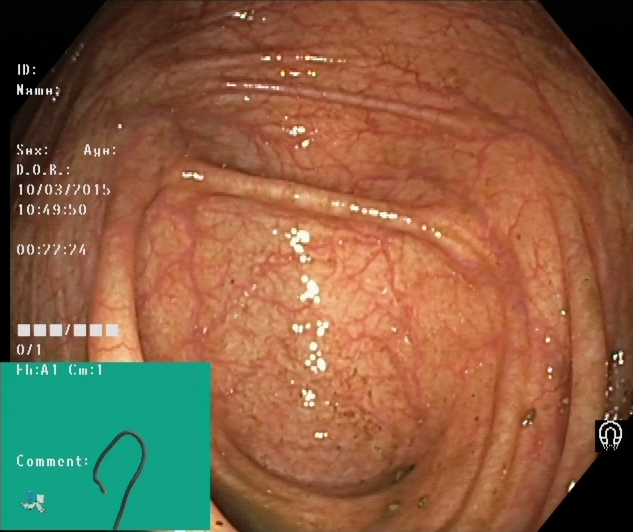modality: lower gastrointestinal endoscopy | tract: lower GI tract | category: anatomical landmark | finding: cecum